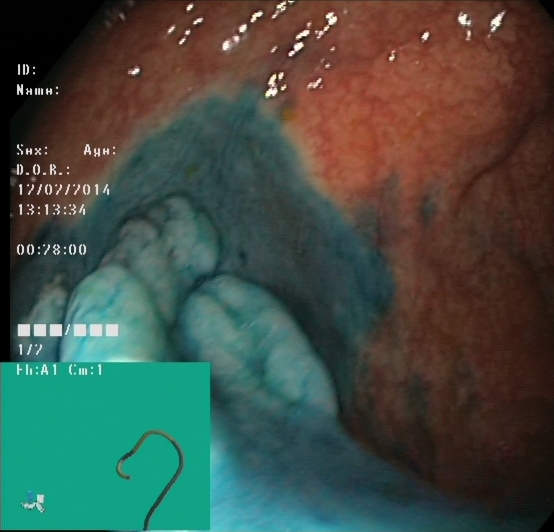Colonoscopy. Finding: dyed and lifted polyp (pre-resection).